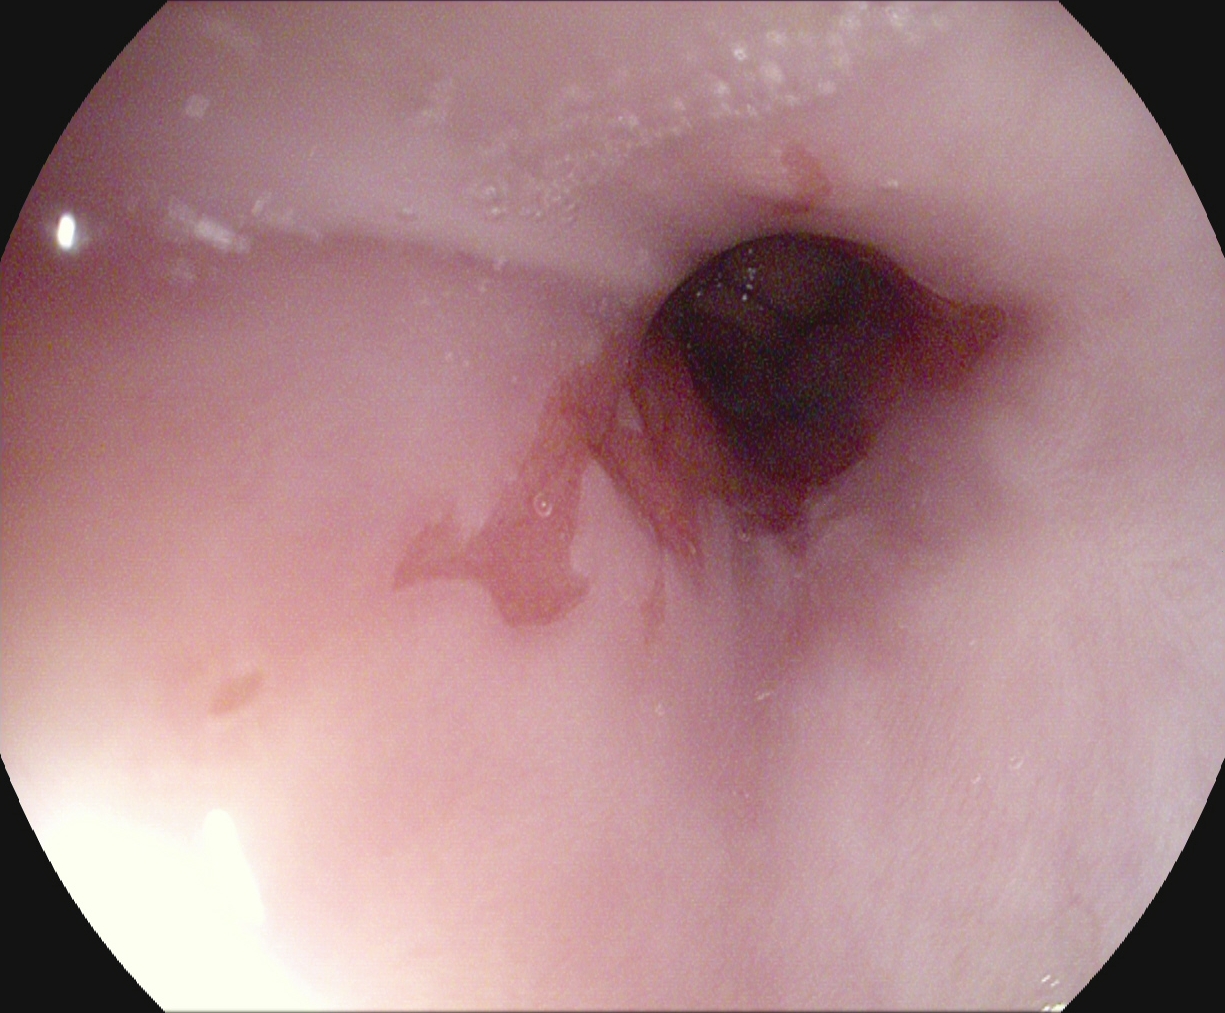Upper-GI endoscopy image of the upper GI tract showing Barrett's esophagus, short segment.